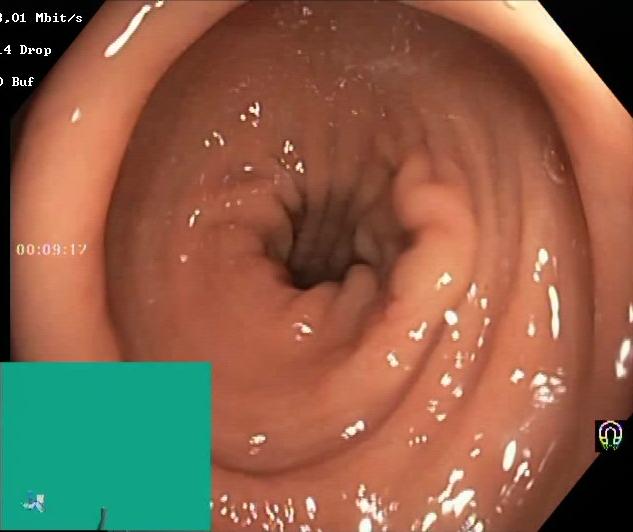Lower-GI endoscopy. Tract: lower GI tract. Finding: Boston Bowel Preparation Scale score 2–3 (adequate preparation).